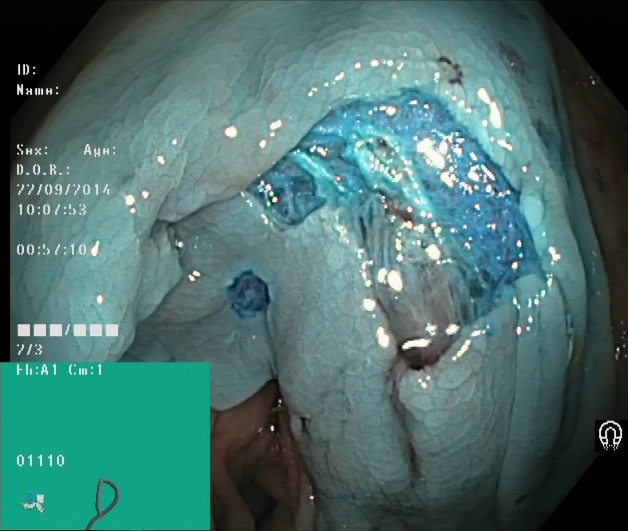modality: lower-GI endoscopy; tract: lower GI tract; finding: dyed resection margins (post-polypectomy)